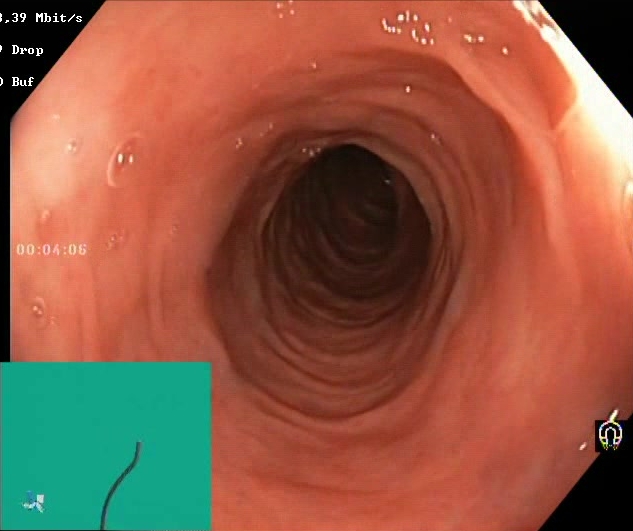Endoscopy image showing Boston Bowel Preparation Scale score 2–3 (adequate preparation).